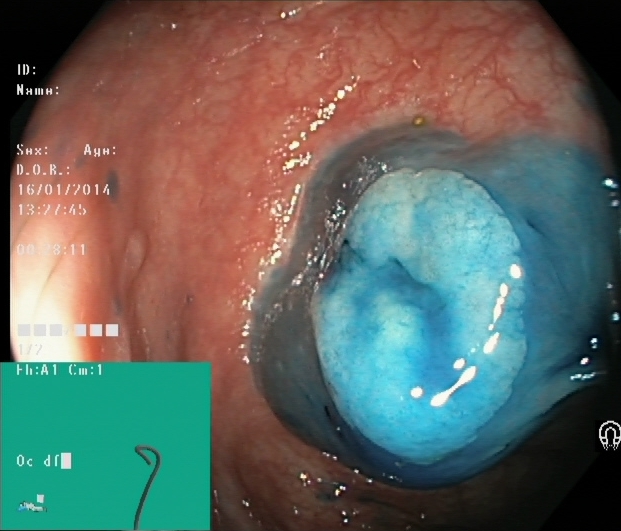This endoscopy frame shows dyed and lifted polyp (pre-resection).